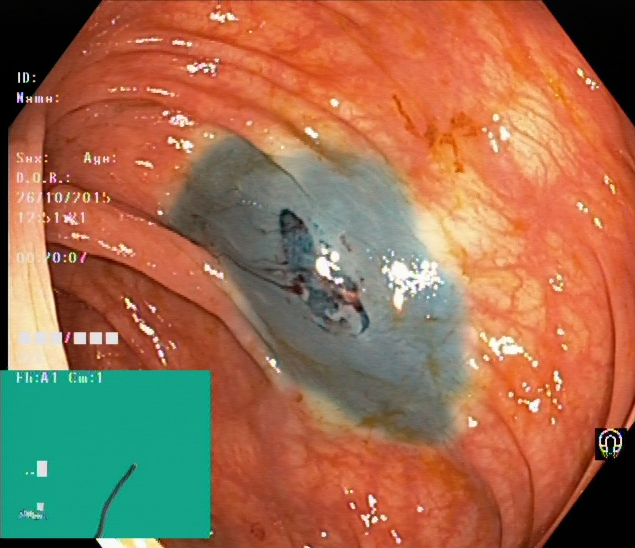Endoscopic image showing dyed resection margins (post-polypectomy).